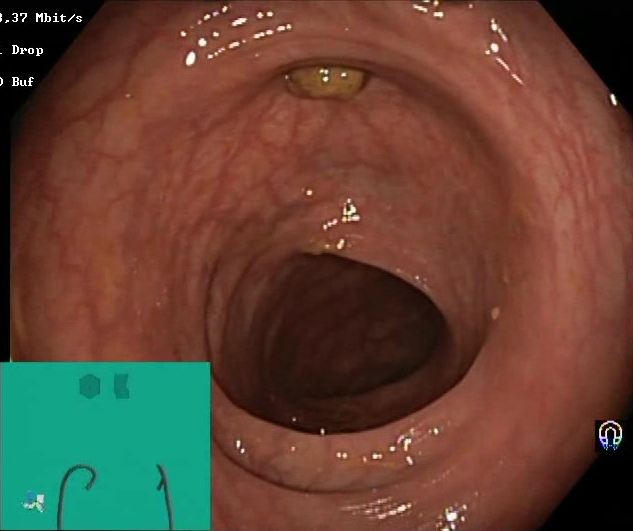modality: lower-GI endoscopy; finding: Boston Bowel Preparation Scale score 2–3 (adequate preparation)